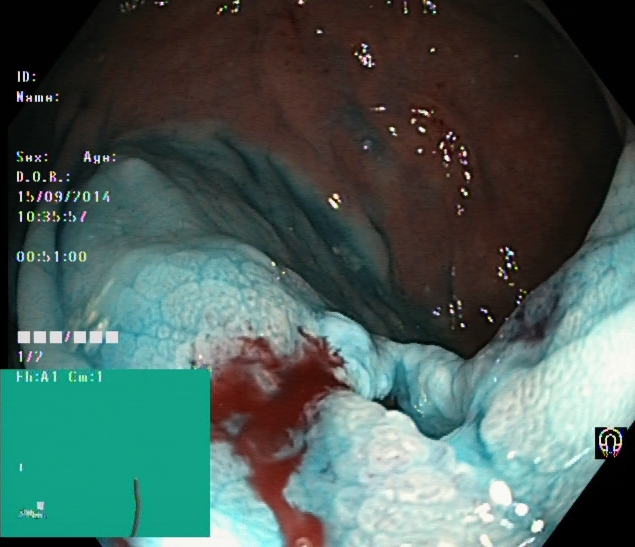Colonoscopy. Tract: lower GI tract. Therapeutic intervention. Finding: dyed and lifted polyp (pre-resection).